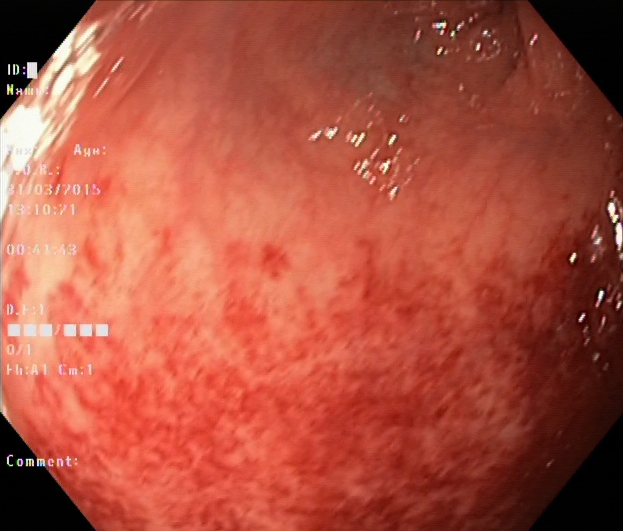This endoscopy frame of the lower GI tract shows UC, Mayo endoscopic subscore 2.